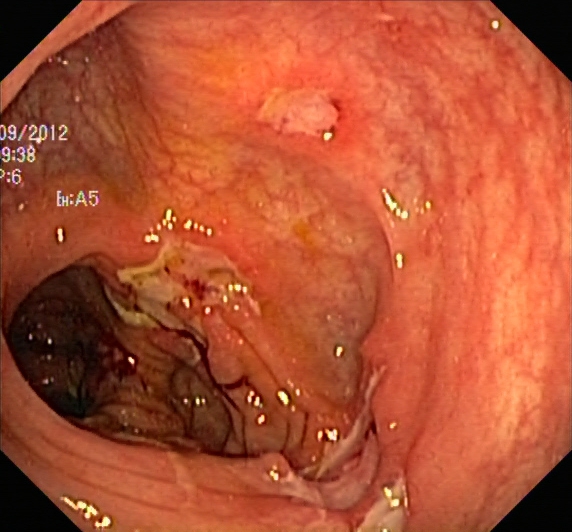{"modality": "lower-GI endoscopy", "tract": "lower GI tract", "finding": "UC, Mayo endoscopic subscore 1"}